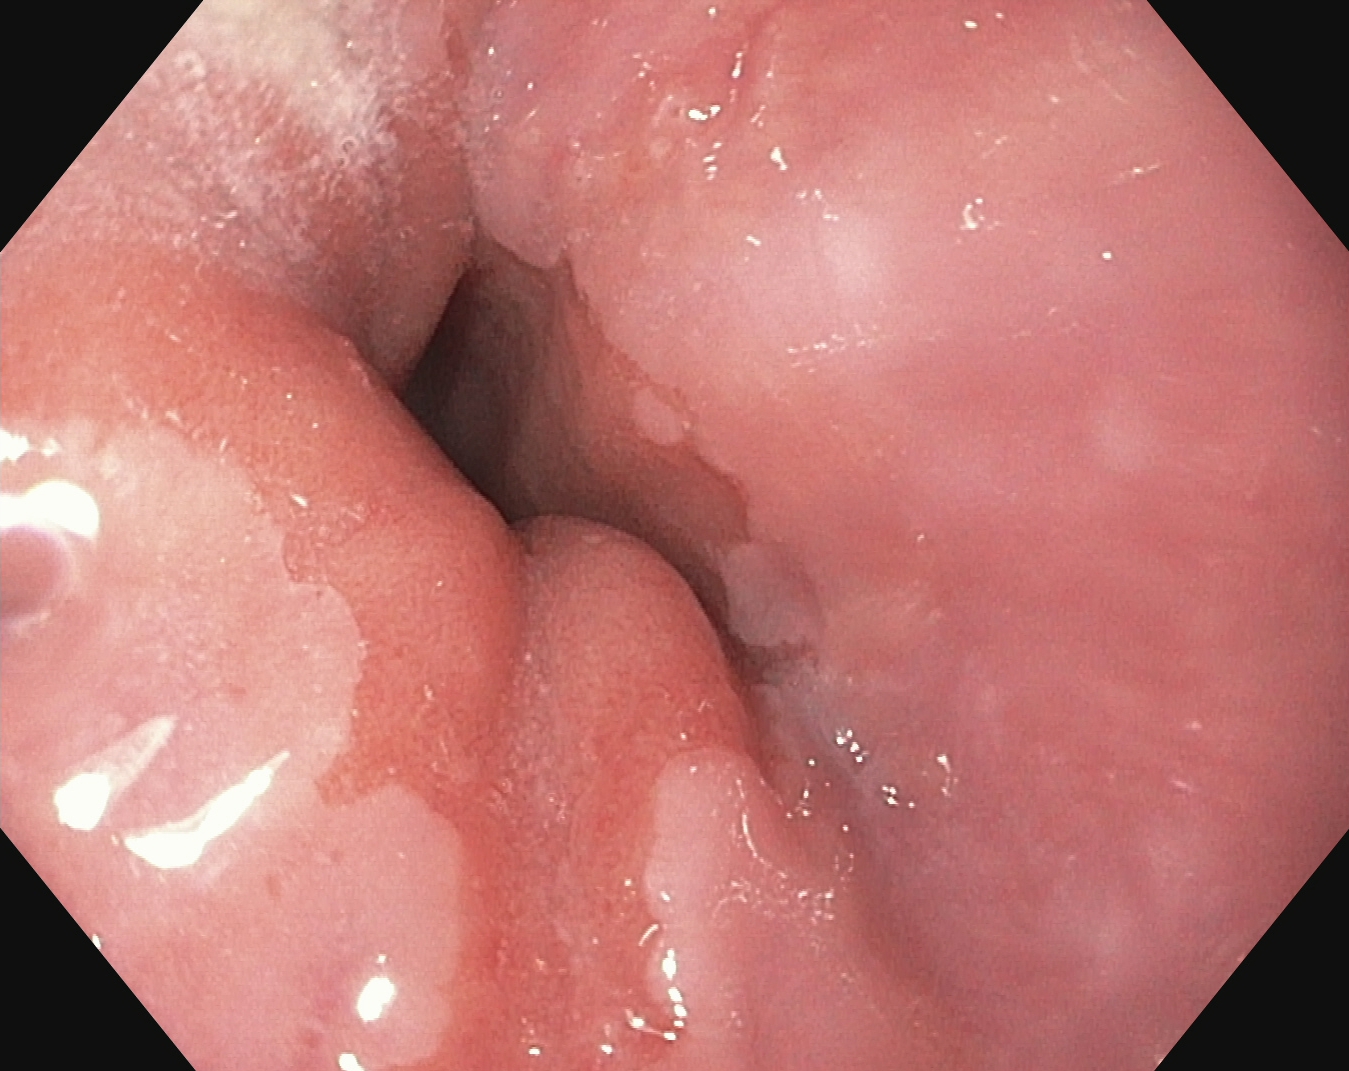Endoscopic frame of the upper GI tract showing Z-line (gastroesophageal junction).